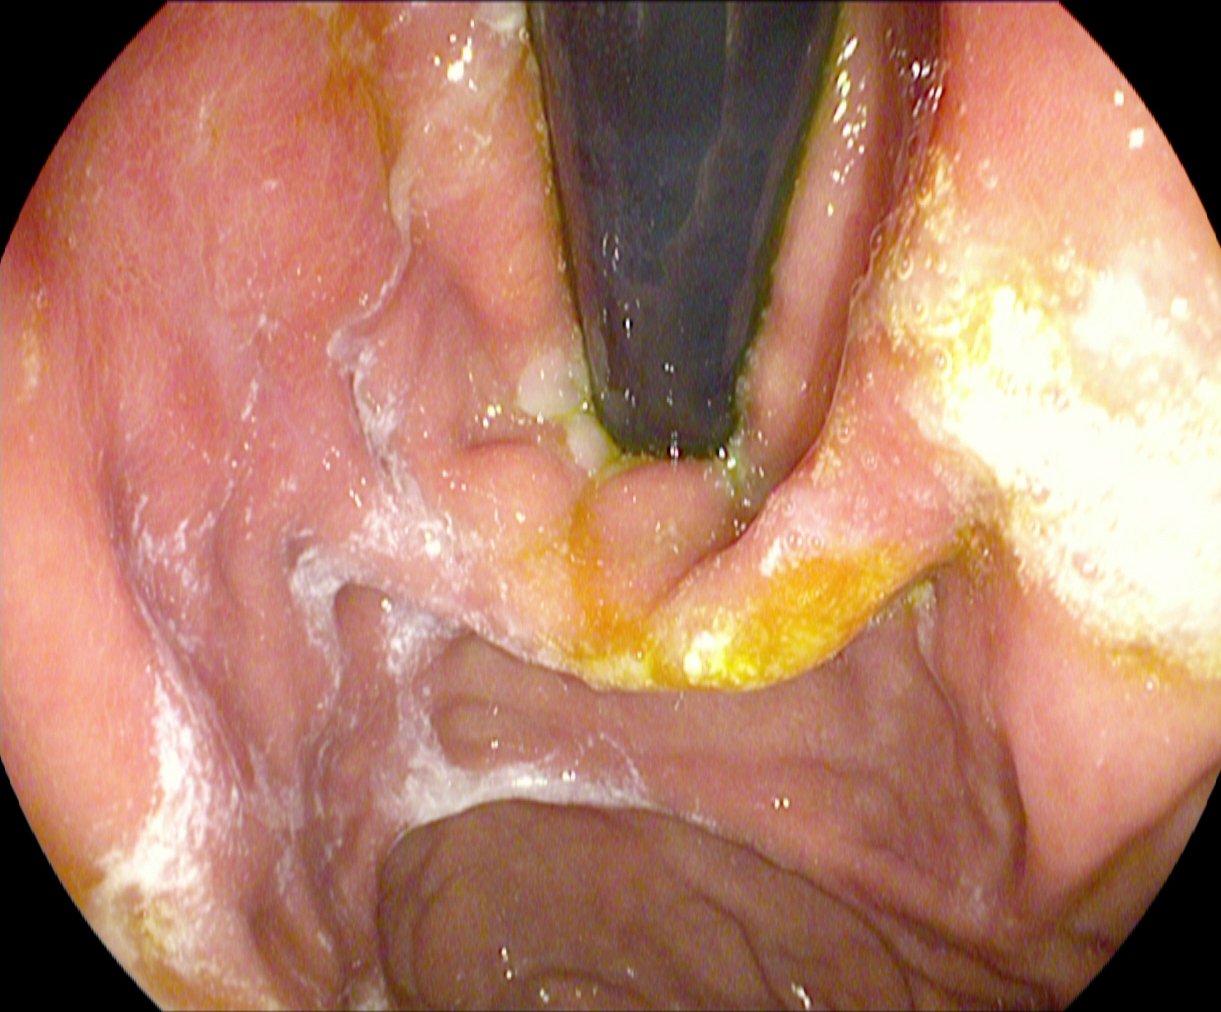Esophagogastroduodenoscopy. Finding: stomach in retroflexion.